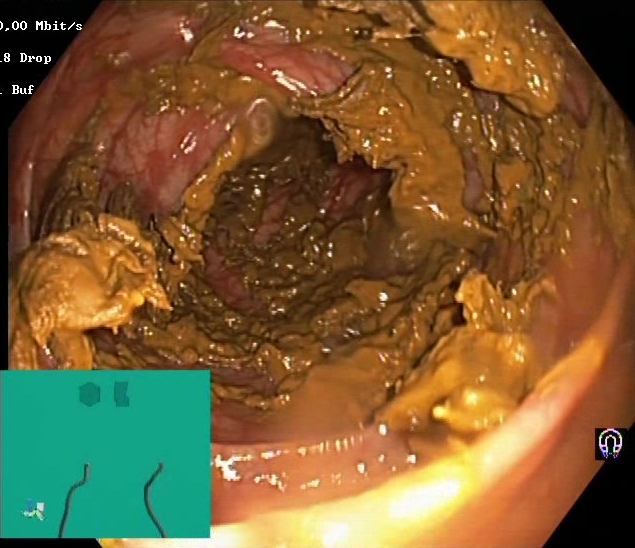Boston Bowel Preparation Scale score 0–1 (inadequate preparation).